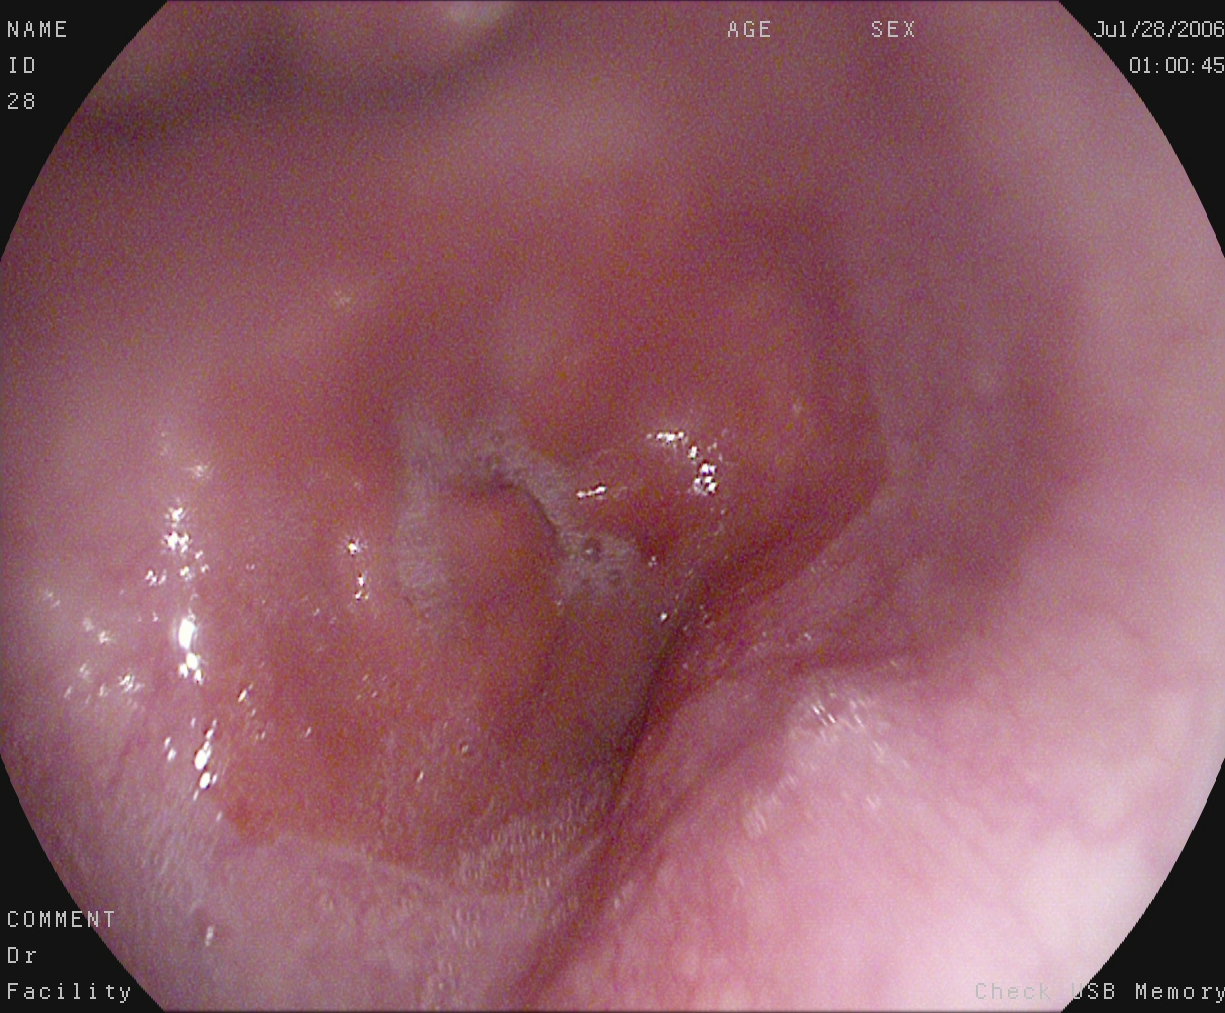PROCEDURE: Esophagogastroduodenoscopy.
CATEGORY: Anatomical landmark.
FINDINGS: Z-line (gastroesophageal junction).